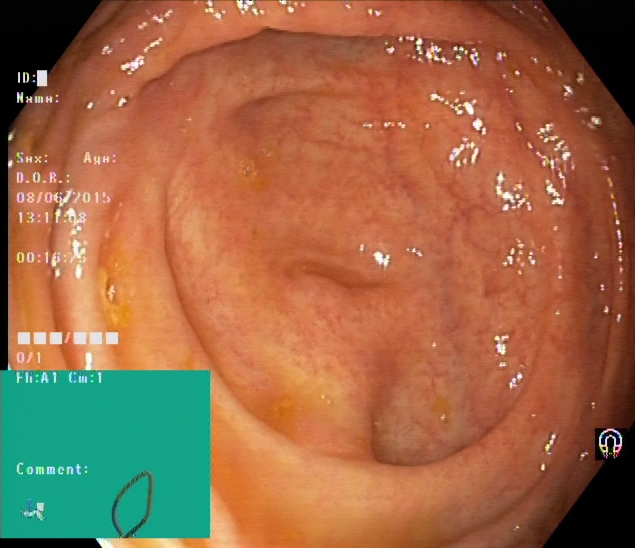modality: lower gastrointestinal endoscopy
finding: cecum